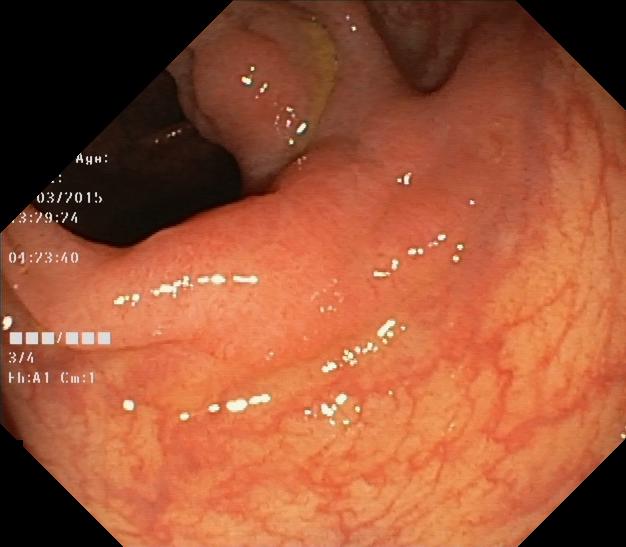Colorectal polyp(s).